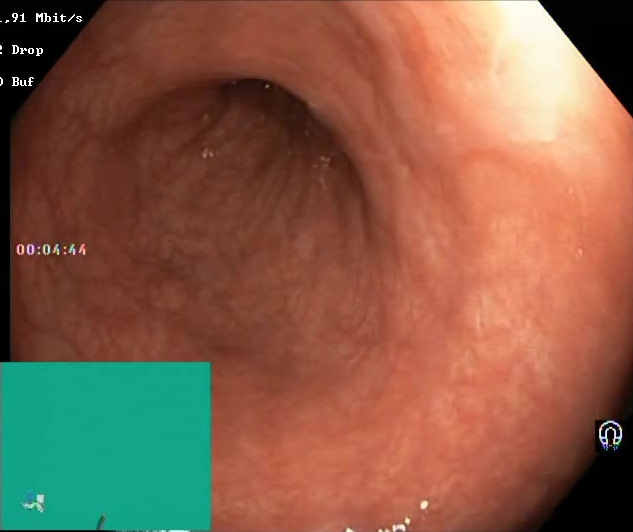Boston Bowel Preparation Scale score 2–3 (adequate preparation).